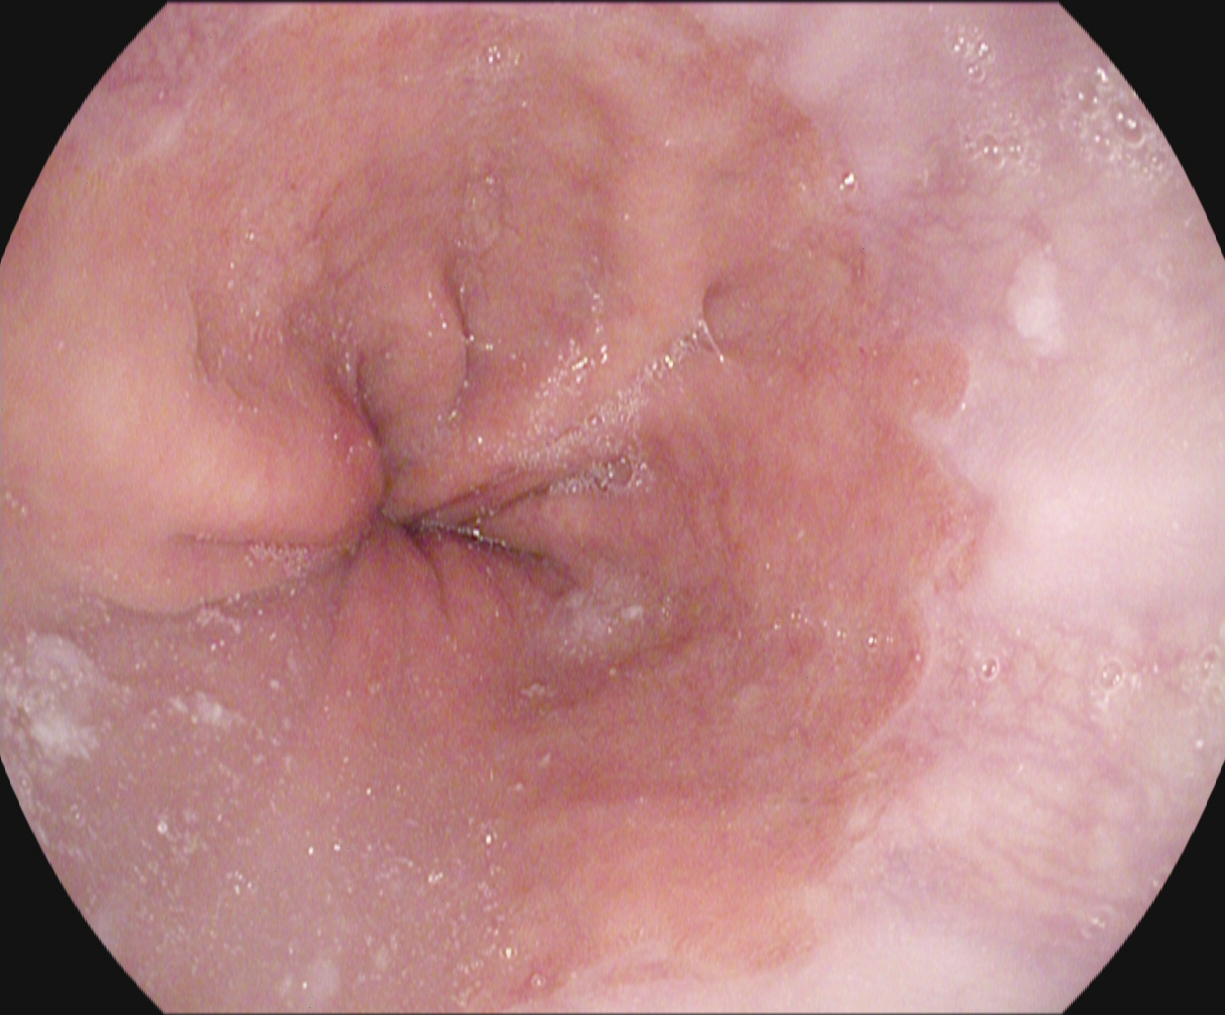EGD. Tract: upper GI tract. Finding: Z-line (gastroesophageal junction).